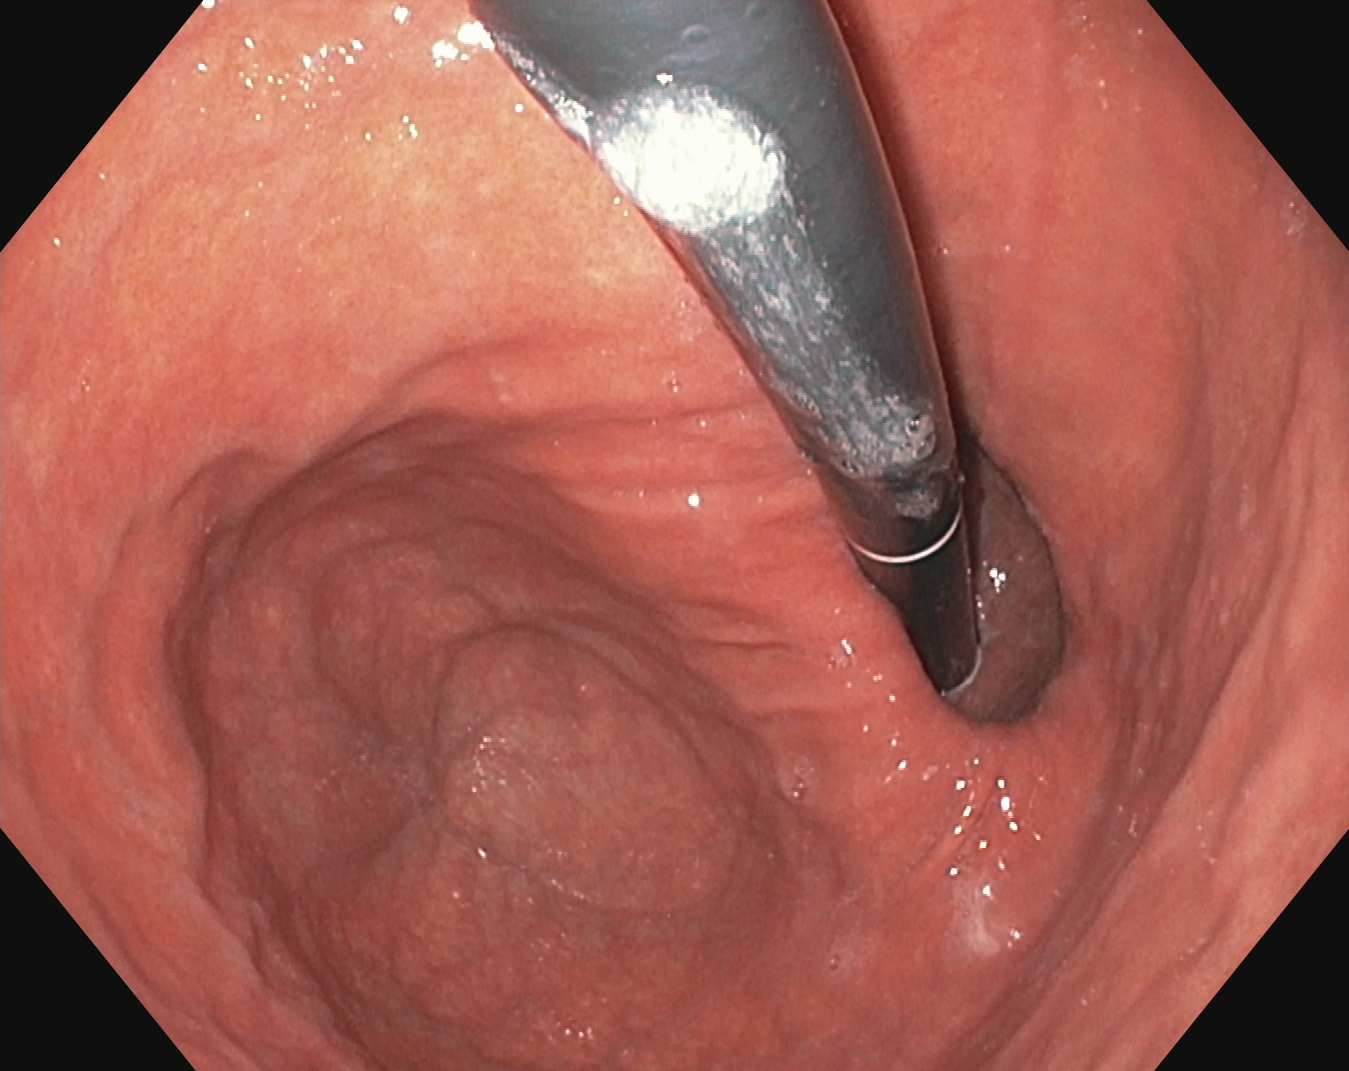modality: EGD; tract: upper GI tract; finding: stomach in retroflexion